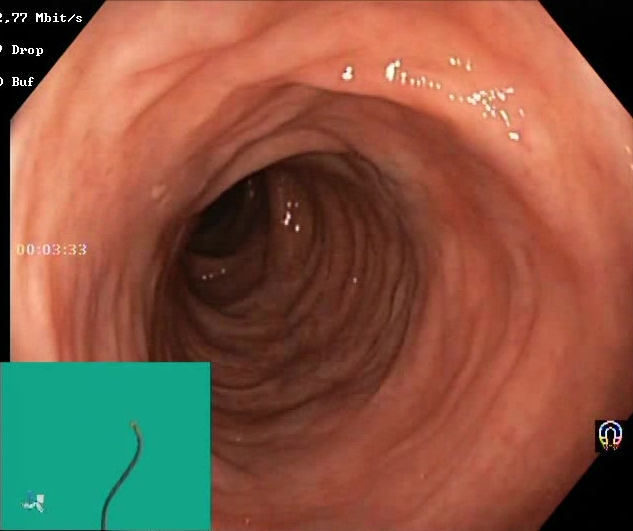modality: colonoscopy | tract: lower GI tract | finding: Boston Bowel Preparation Scale score 2–3 (adequate preparation)